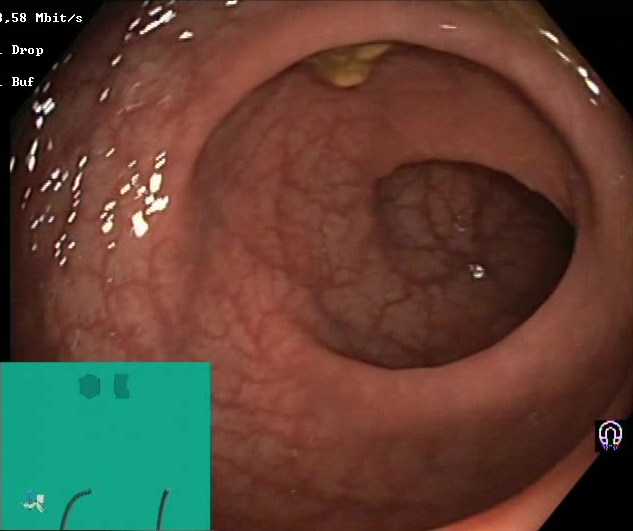Boston Bowel Preparation Scale score 2–3 (adequate preparation).